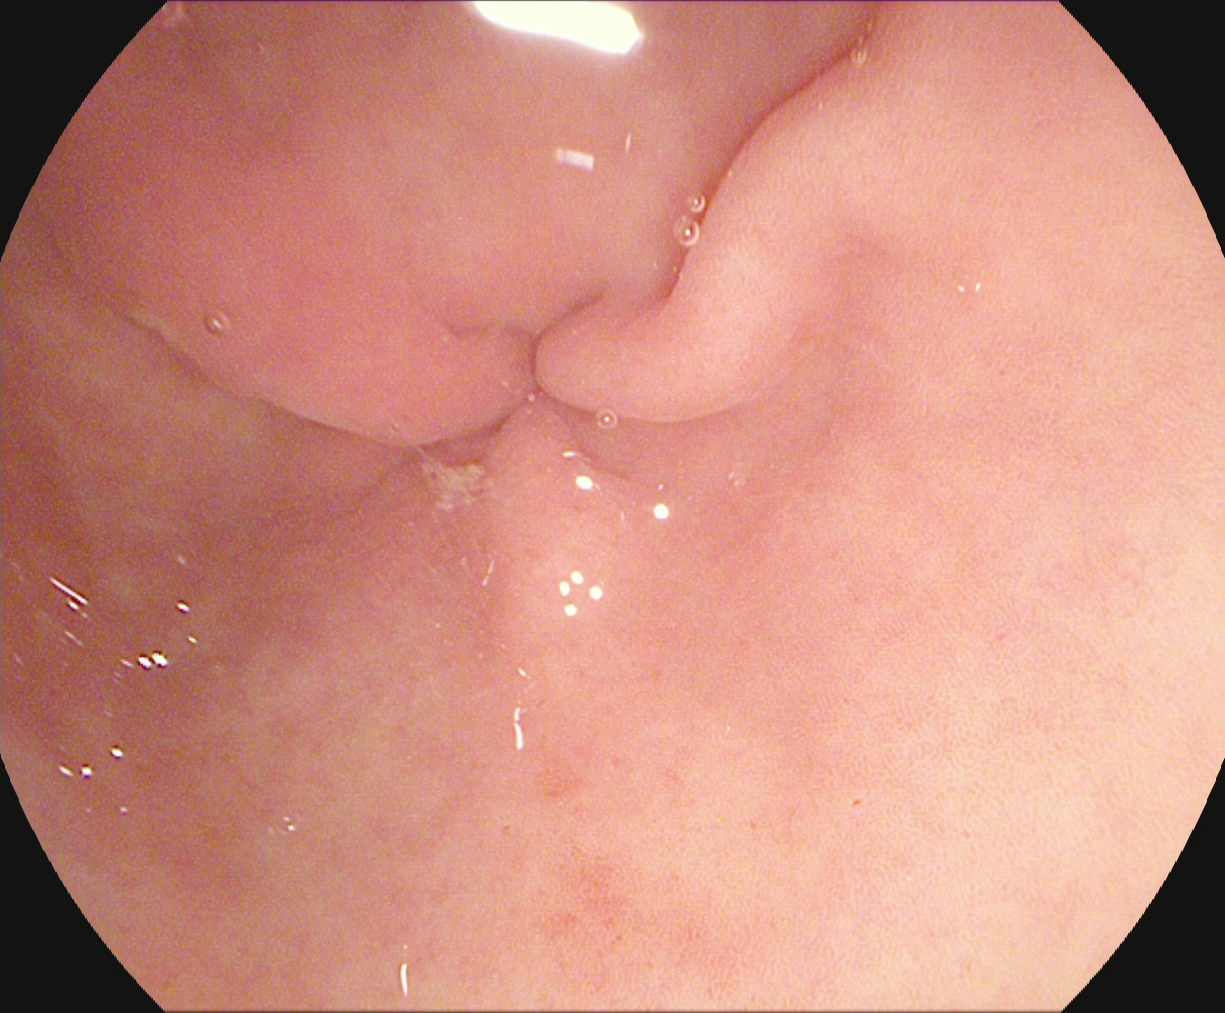This endoscopic image shows pylorus.